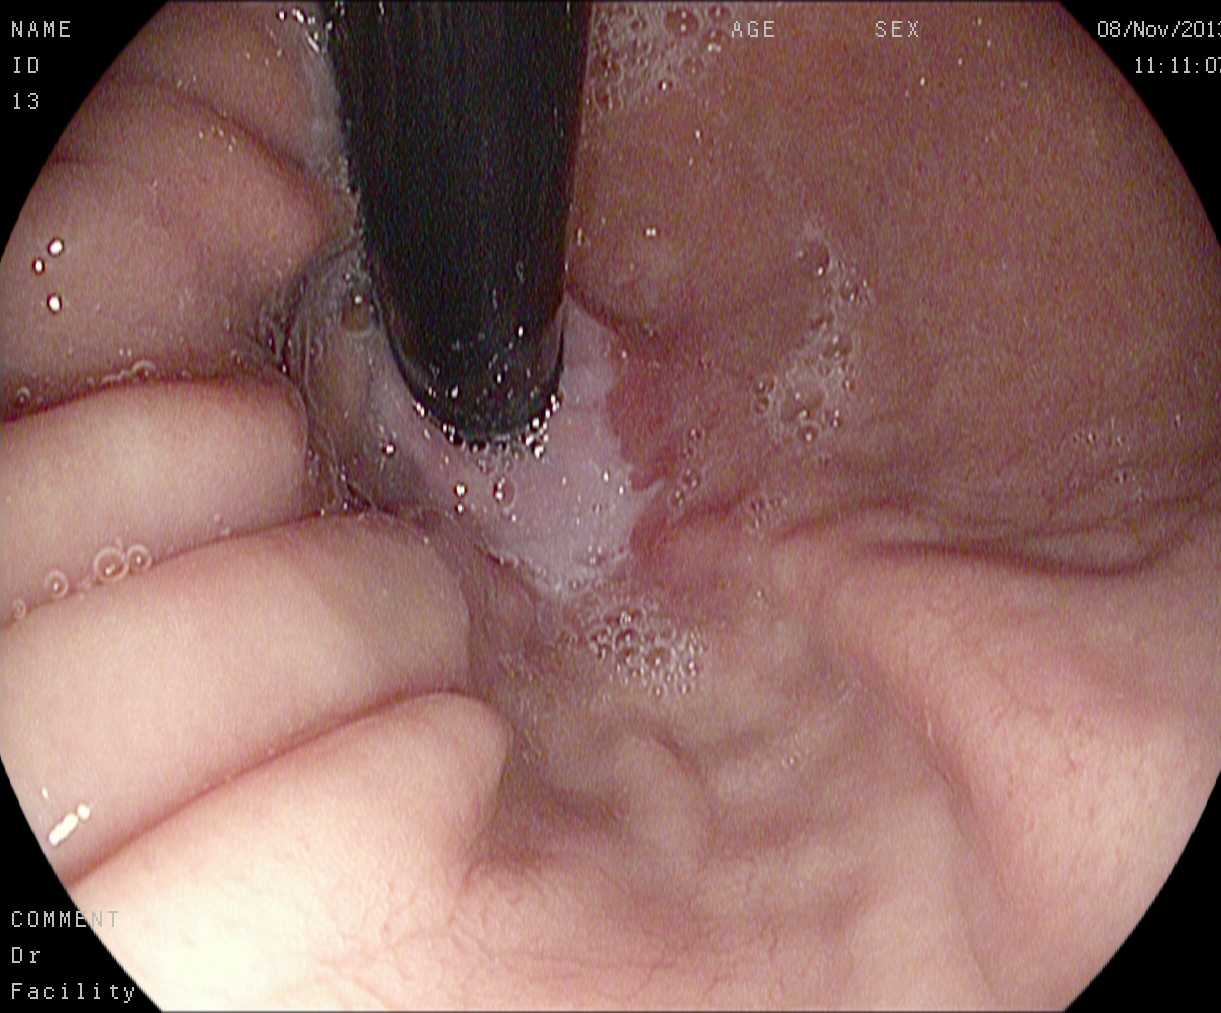Endoscopy image showing stomach in retroflexion.